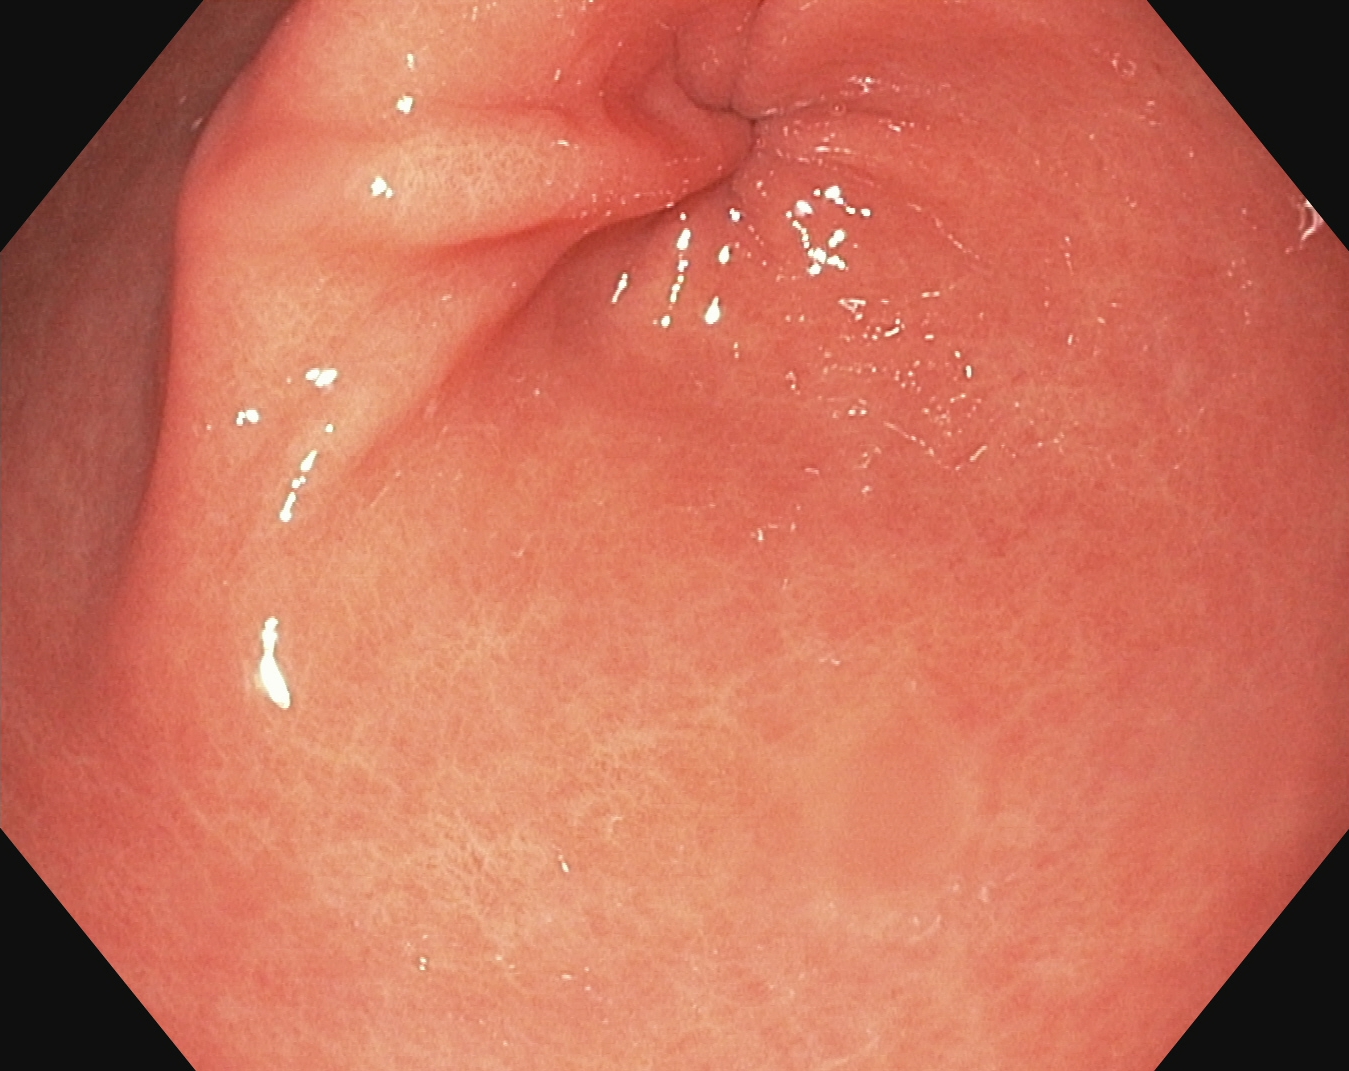modality: EGD | tract: upper GI tract | category: anatomical landmark | finding: pylorus